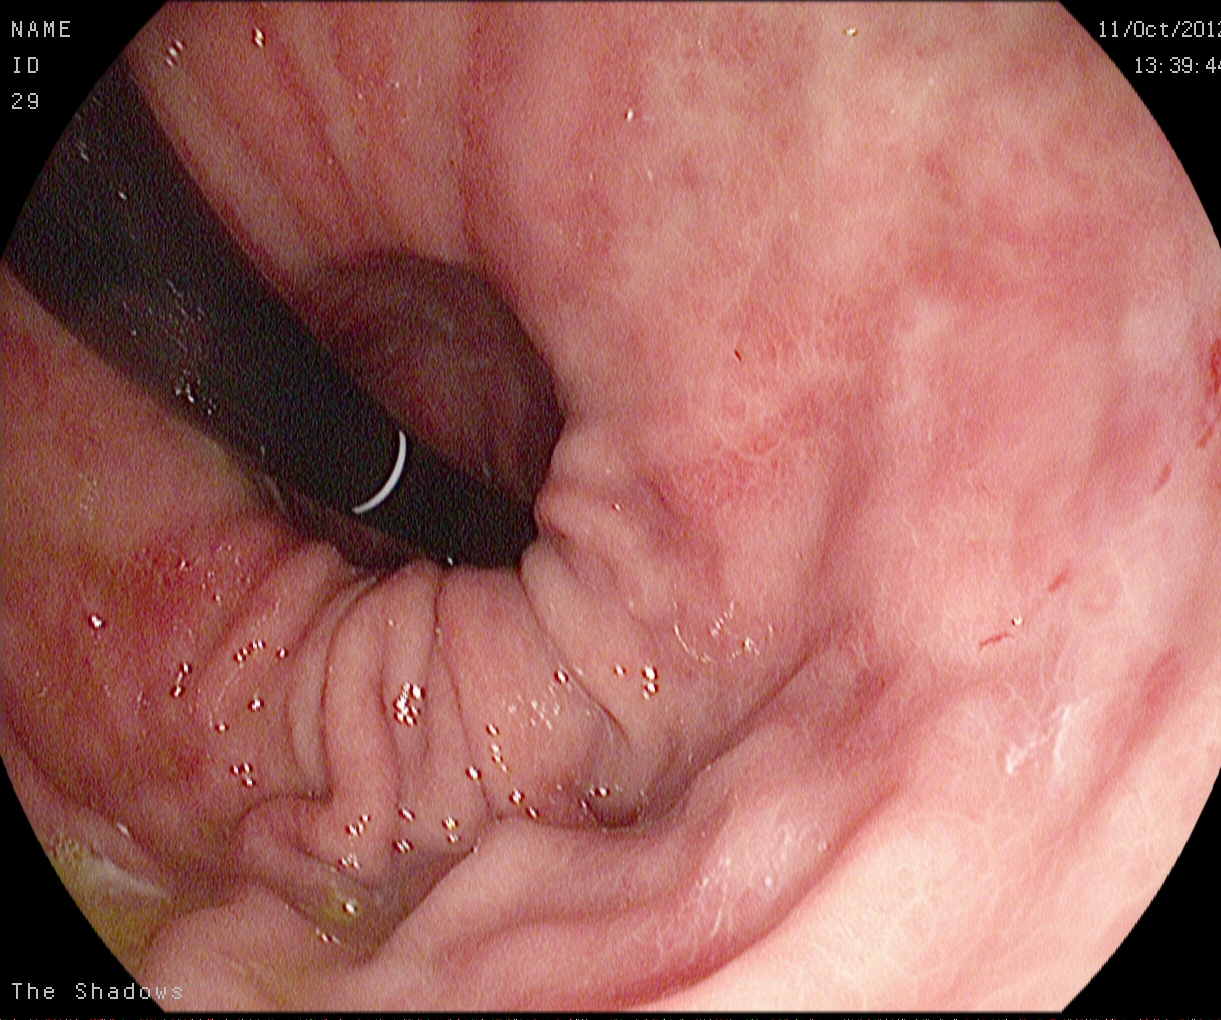PROCEDURE: EGD.
FINDINGS: Stomach in retroflexion.